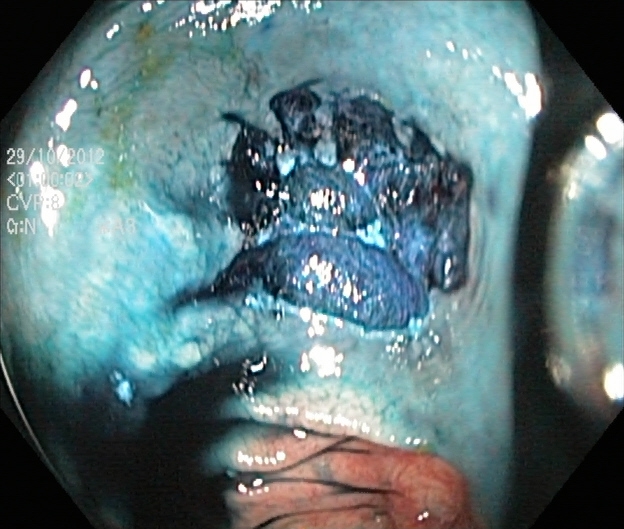Endoscopy image showing dyed resection margins (post-polypectomy).